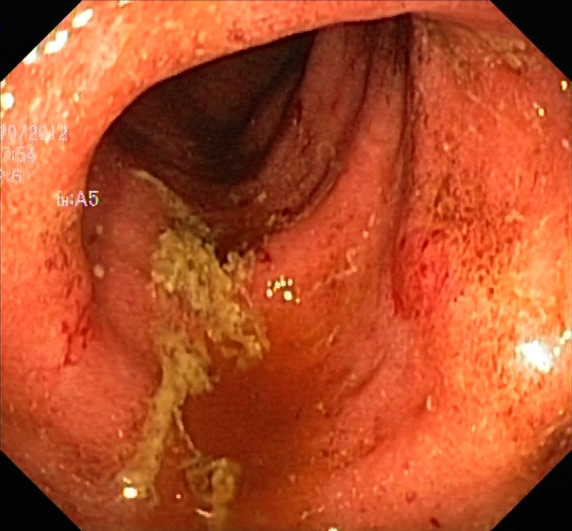modality: lower gastrointestinal endoscopy
category: pathological finding
finding: UC, Mayo endoscopic subscore 2